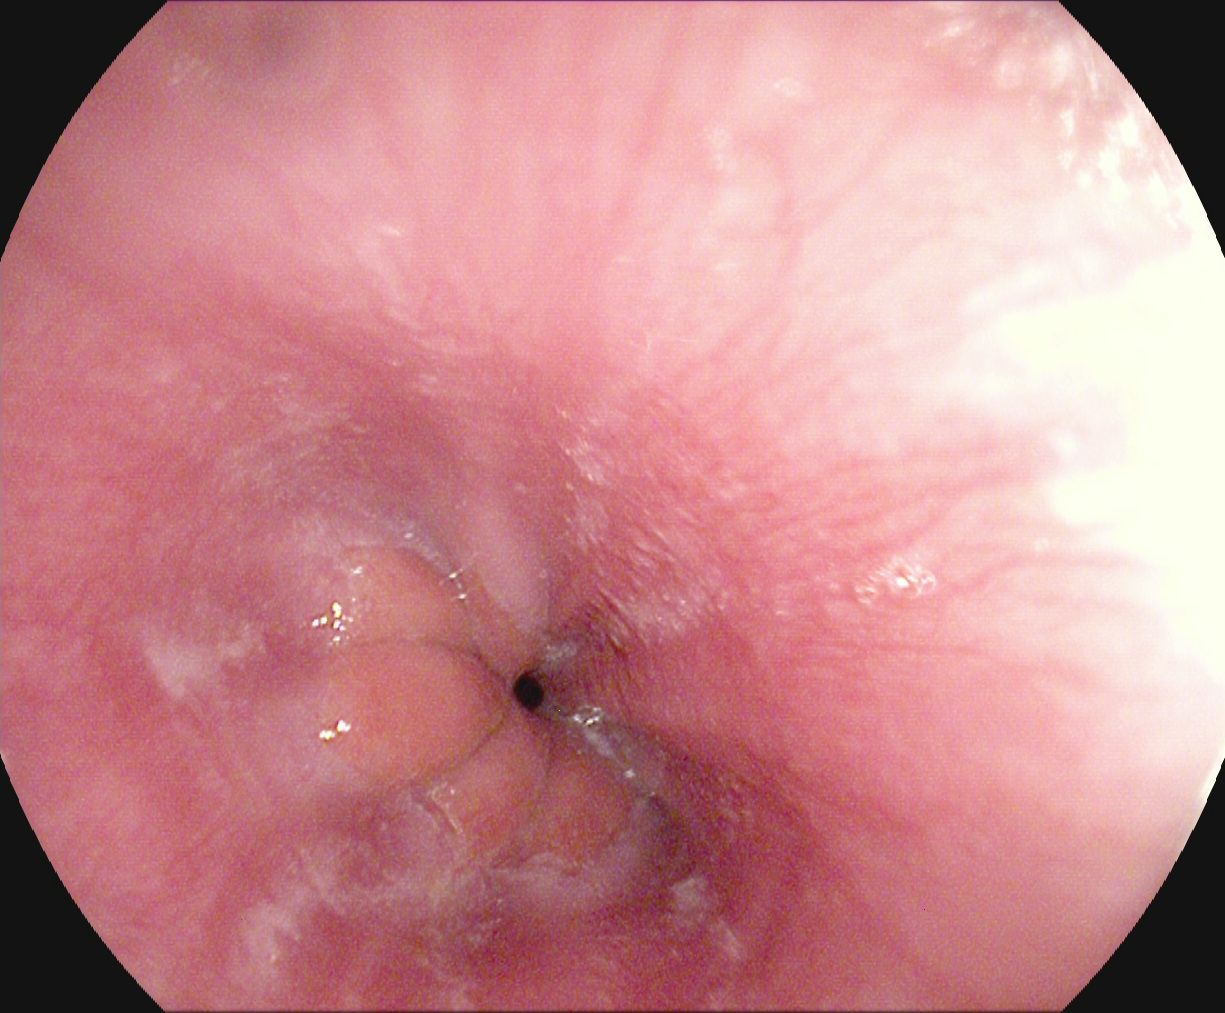This endoscopic image of the upper GI tract shows Z-line (gastroesophageal junction).